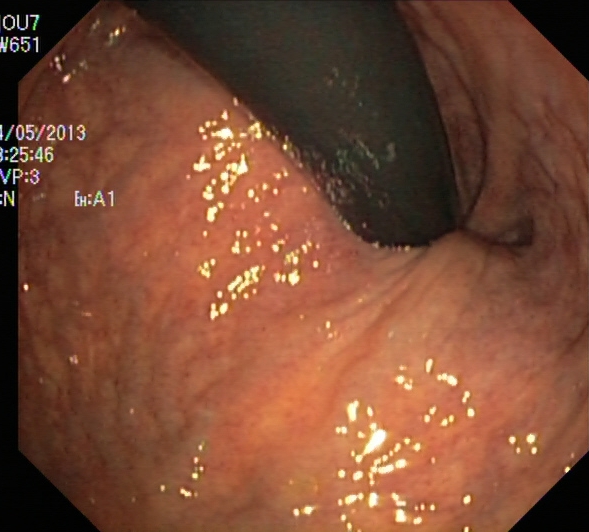This endoscopic image of the upper GI tract shows stomach in retroflexion.